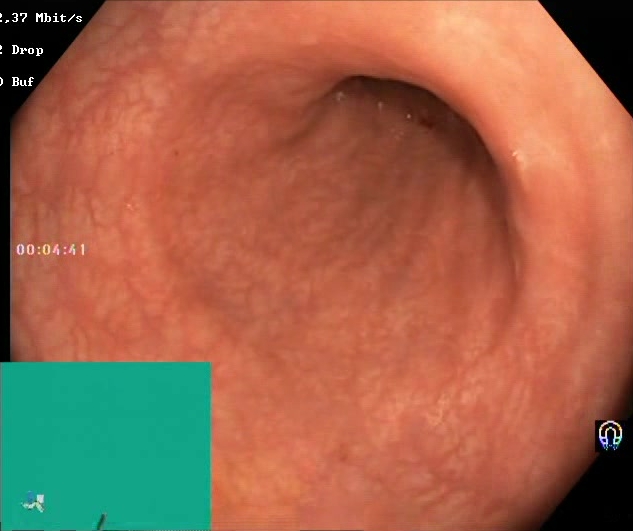Gastrointestinal endoscopy image of the lower GI tract showing Boston Bowel Preparation Scale score 2–3 (adequate preparation).